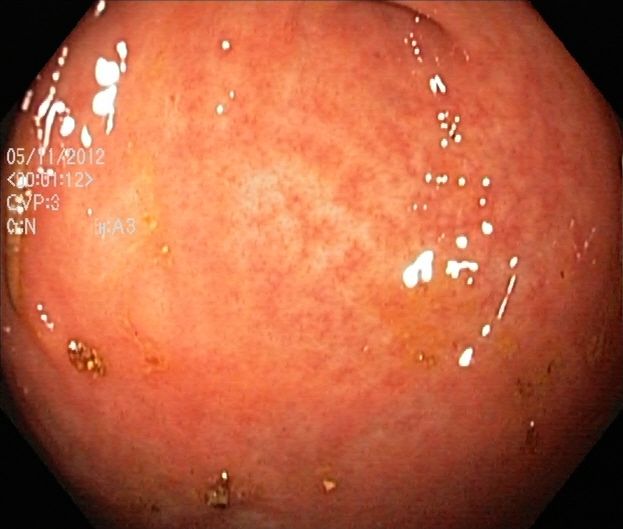PROCEDURE: Colonoscopy.
FINDINGS: Cecum.